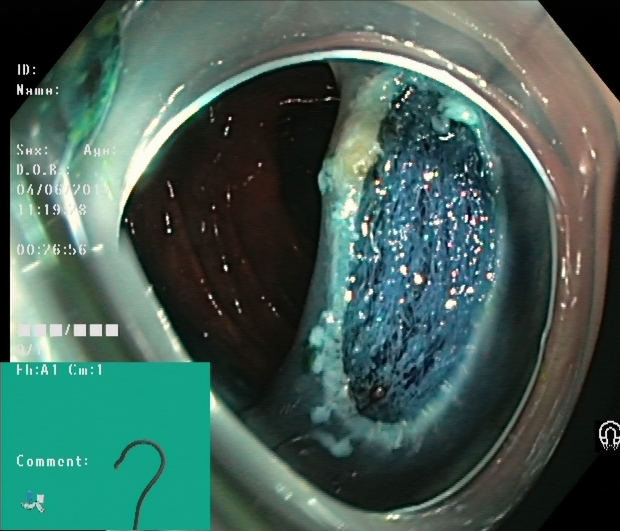Dyed resection margins (post-polypectomy).